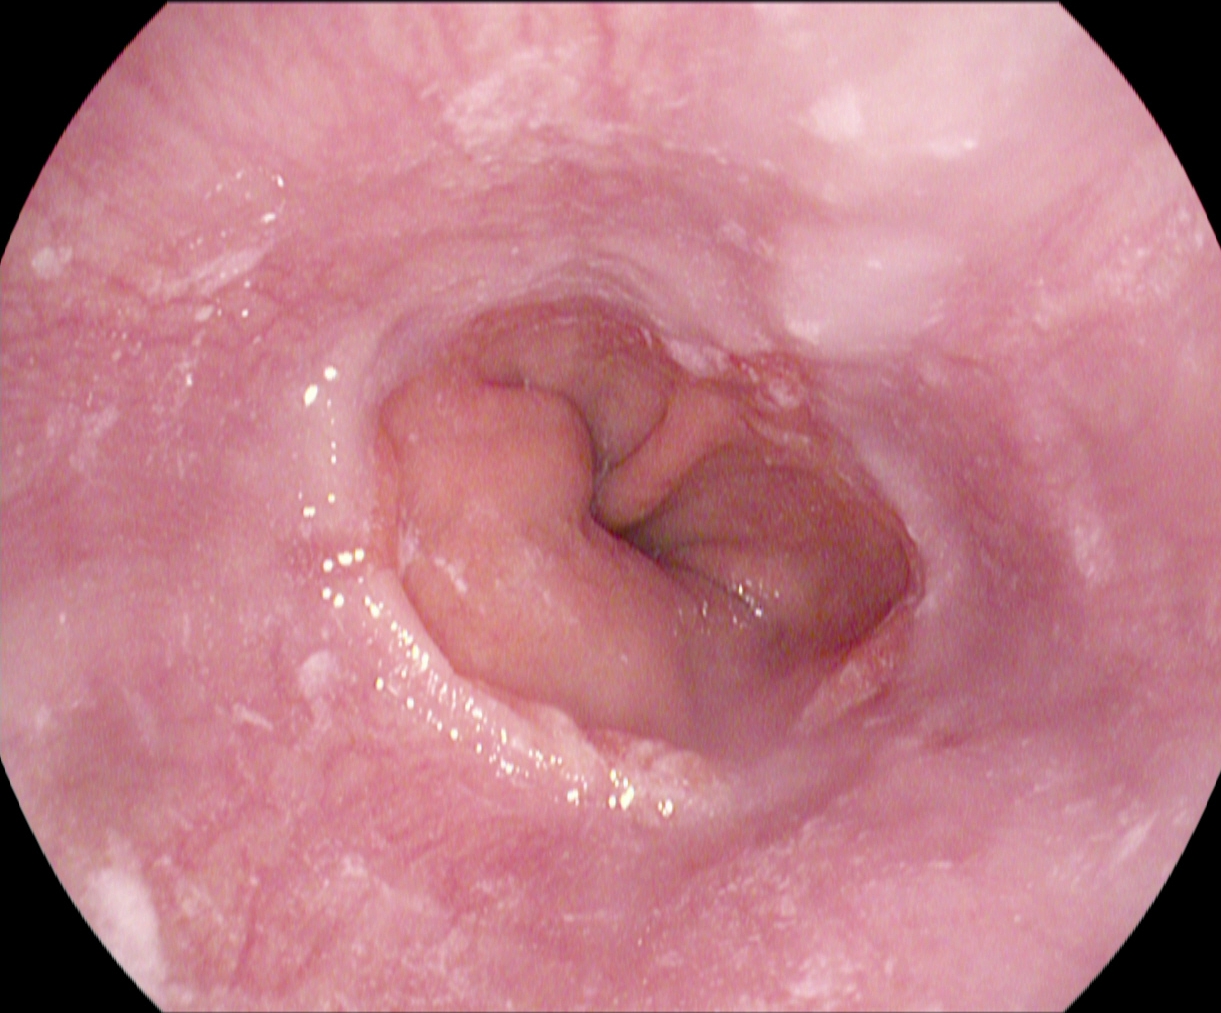Endoscopic frame showing reflux esophagitis, Los Angeles grade A.